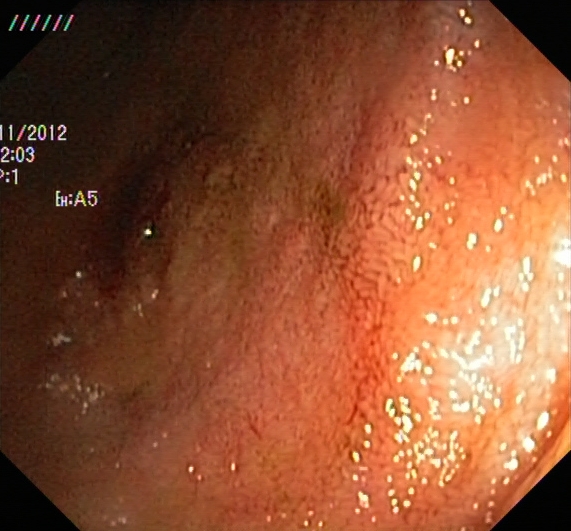Lower gastrointestinal endoscopy — ulcerative colitis, Mayo endoscopic subscore 2.